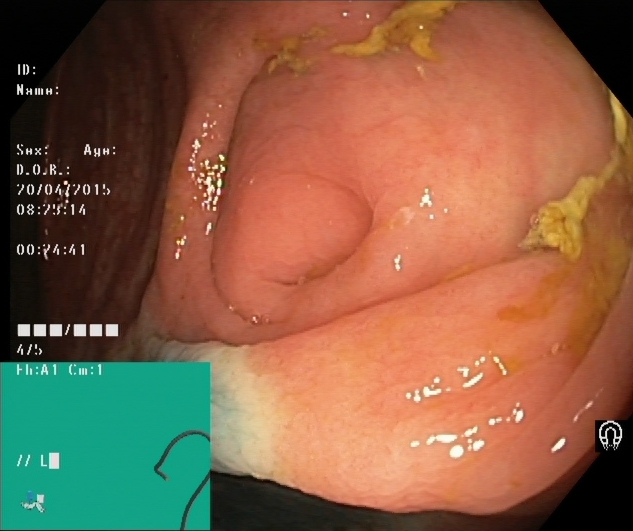Cecum.